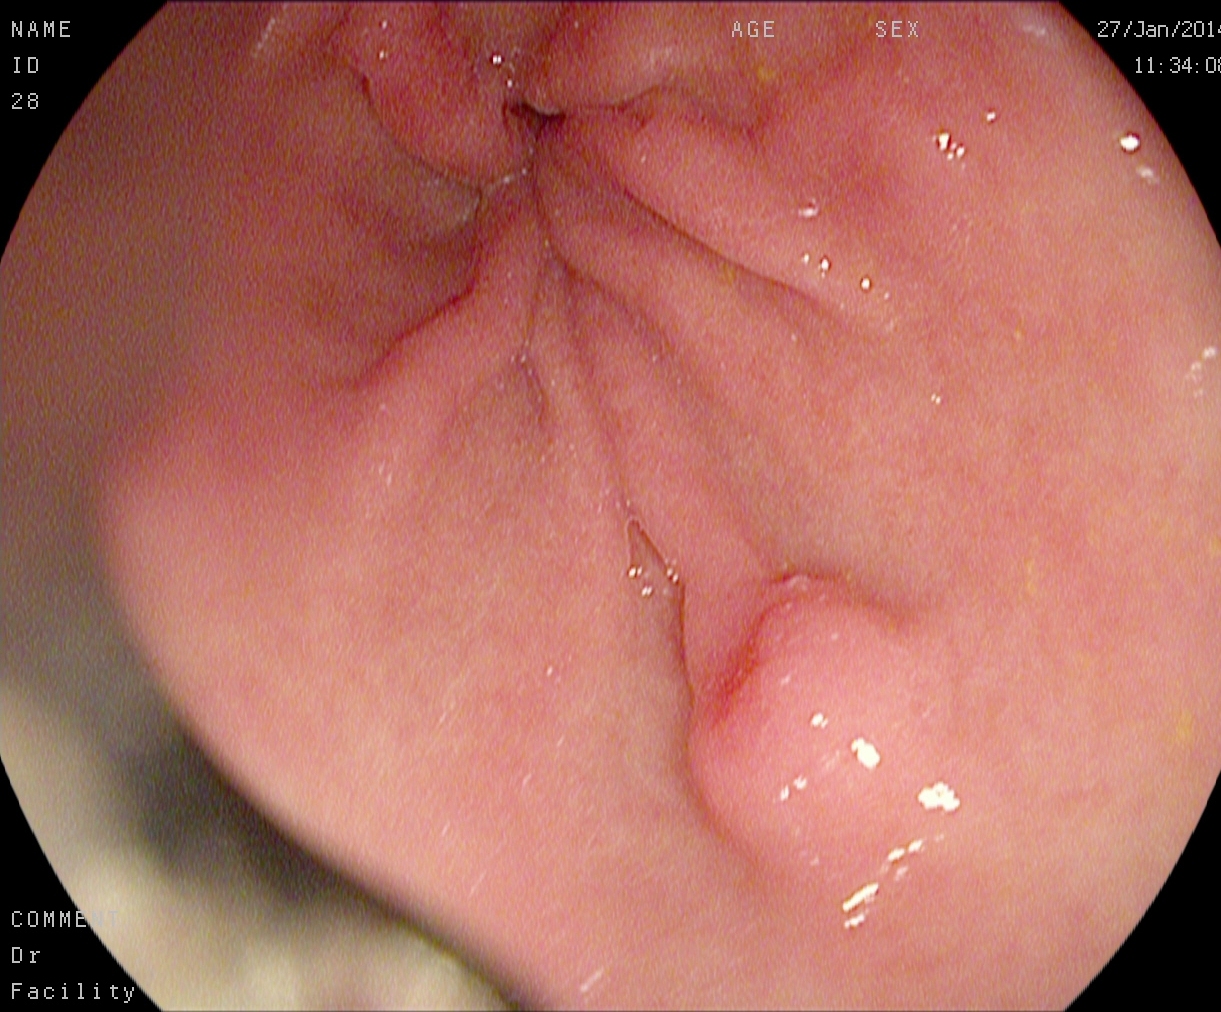{"modality": "gastroscopy", "finding": "pylorus"}